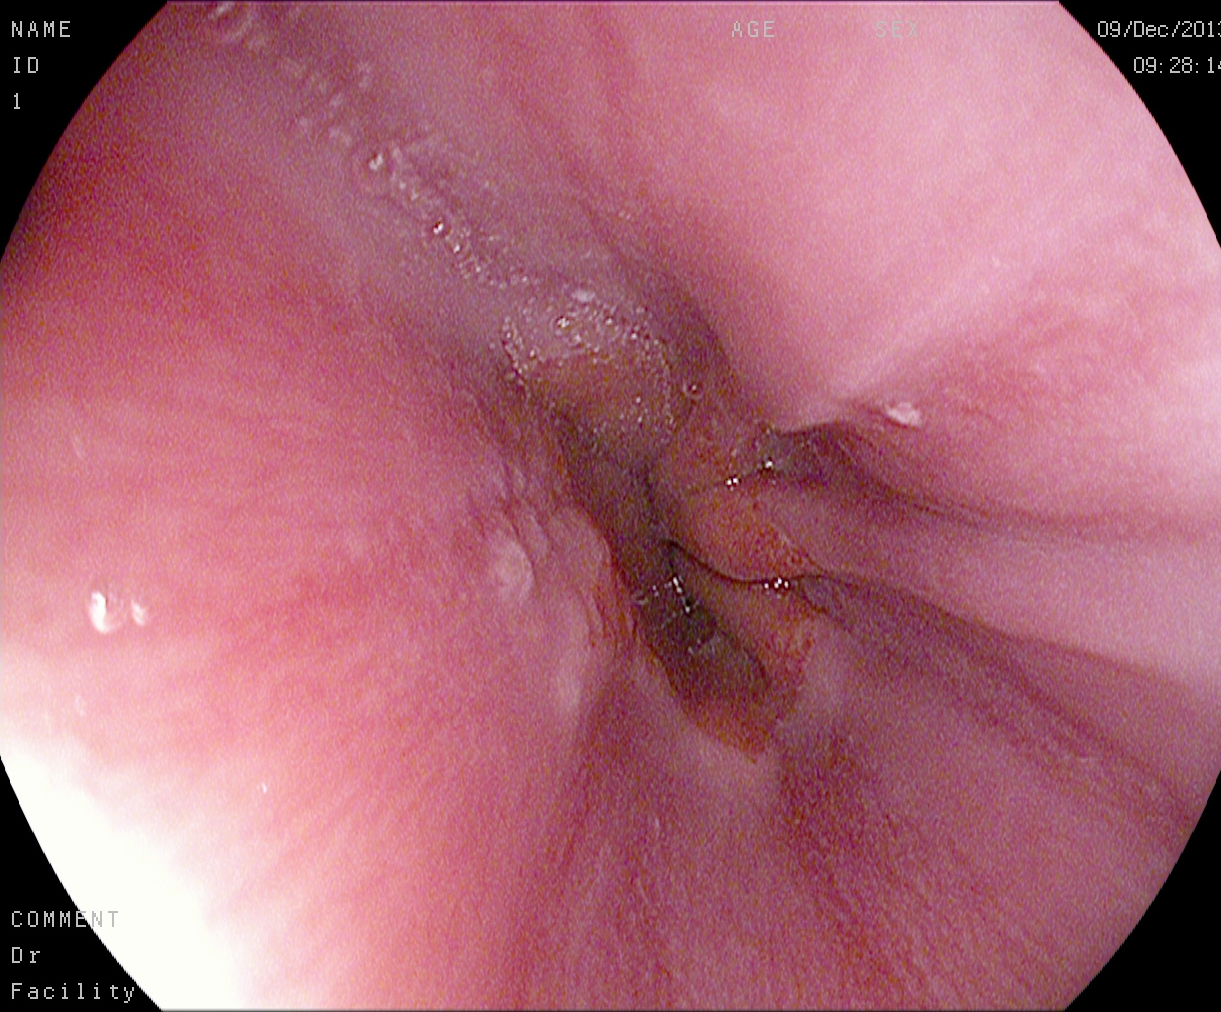Endoscopic image of the upper GI tract showing Z-line (gastroesophageal junction).